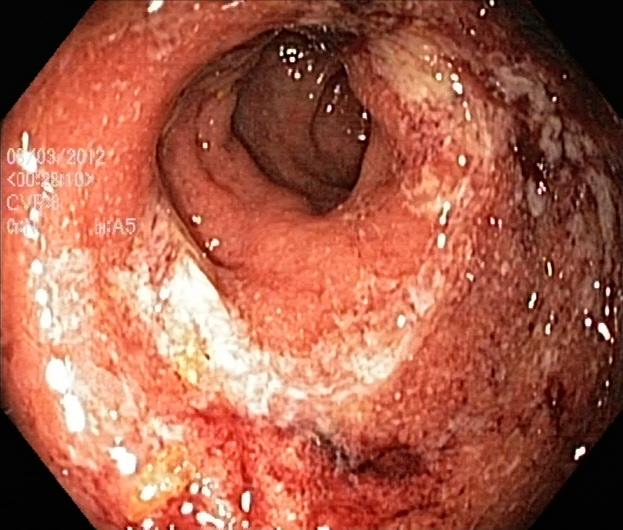modality: lower gastrointestinal endoscopy | tract: lower GI tract | finding: UC, Mayo endoscopic subscore 3